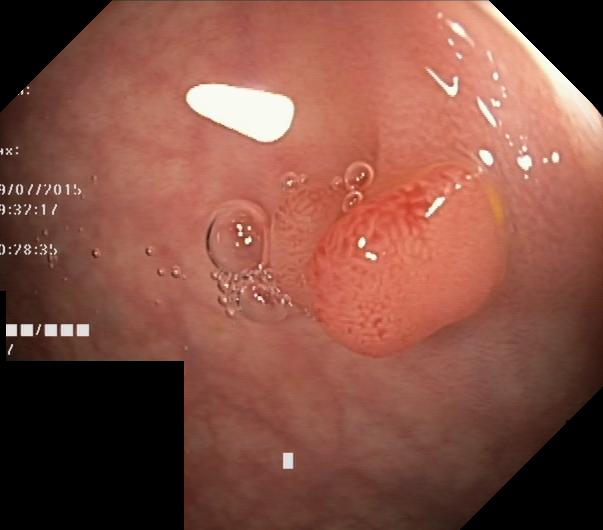Lower-GI endoscopy. Pathological finding. Finding: colorectal polyp(s).